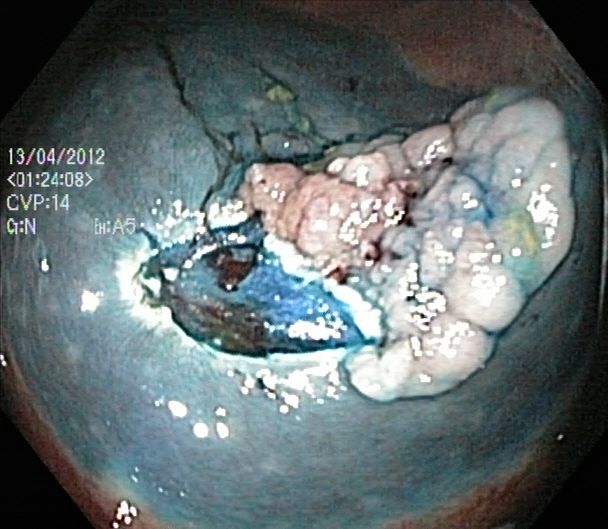This endoscopic image shows dyed and lifted polyp (pre-resection).